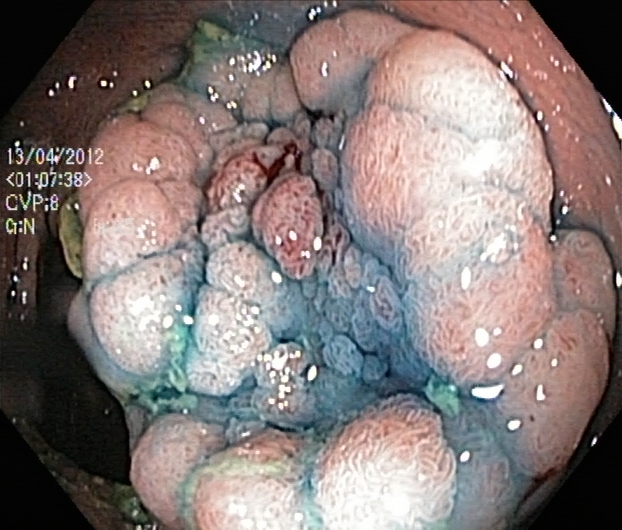{"modality": "lower gastrointestinal endoscopy", "finding": "dyed and lifted polyp (pre-resection)"}